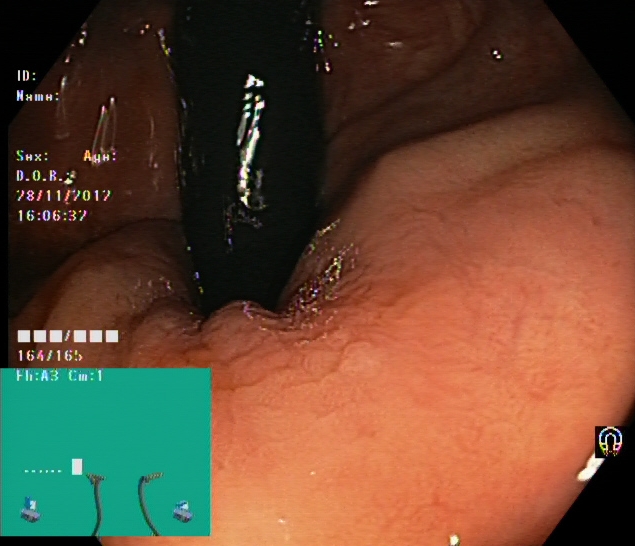modality: lower gastrointestinal endoscopy | tract: lower GI tract | finding: rectum in retroflexion